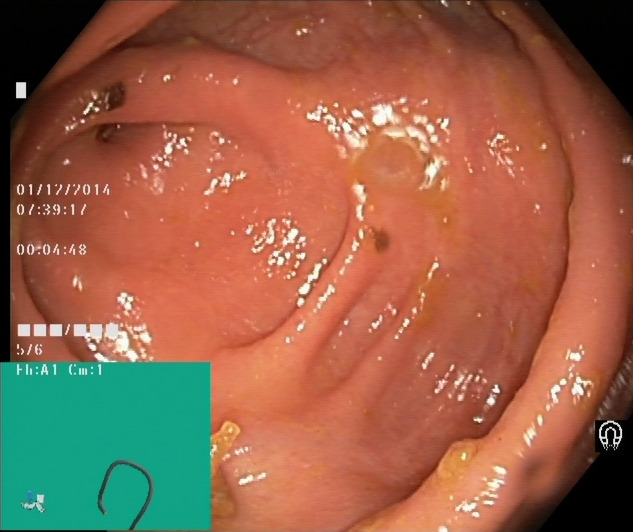This endoscopic image shows cecum.